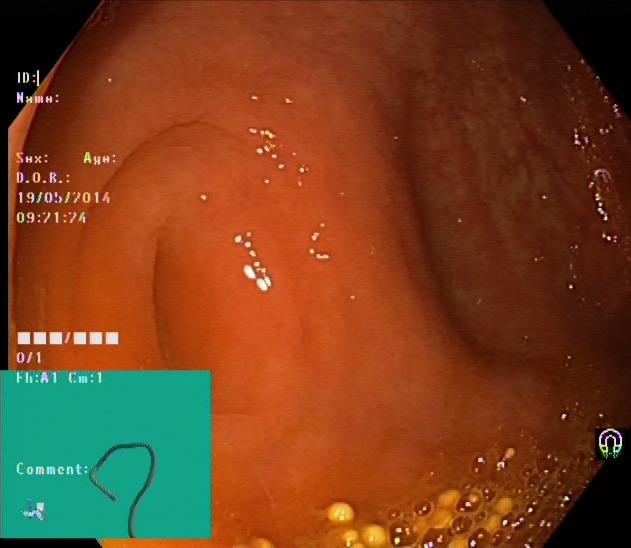modality: colonoscopy
tract: lower GI tract
category: anatomical landmark
finding: cecum